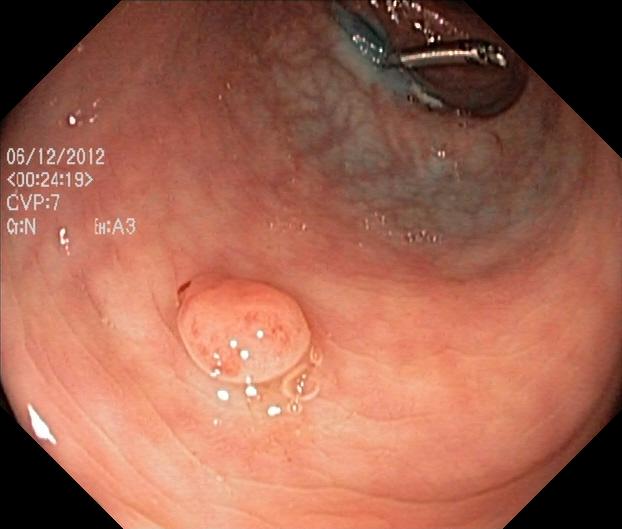PROCEDURE: Colonoscopy.
CATEGORY: Pathological finding.
FINDINGS: Colorectal polyp(s).